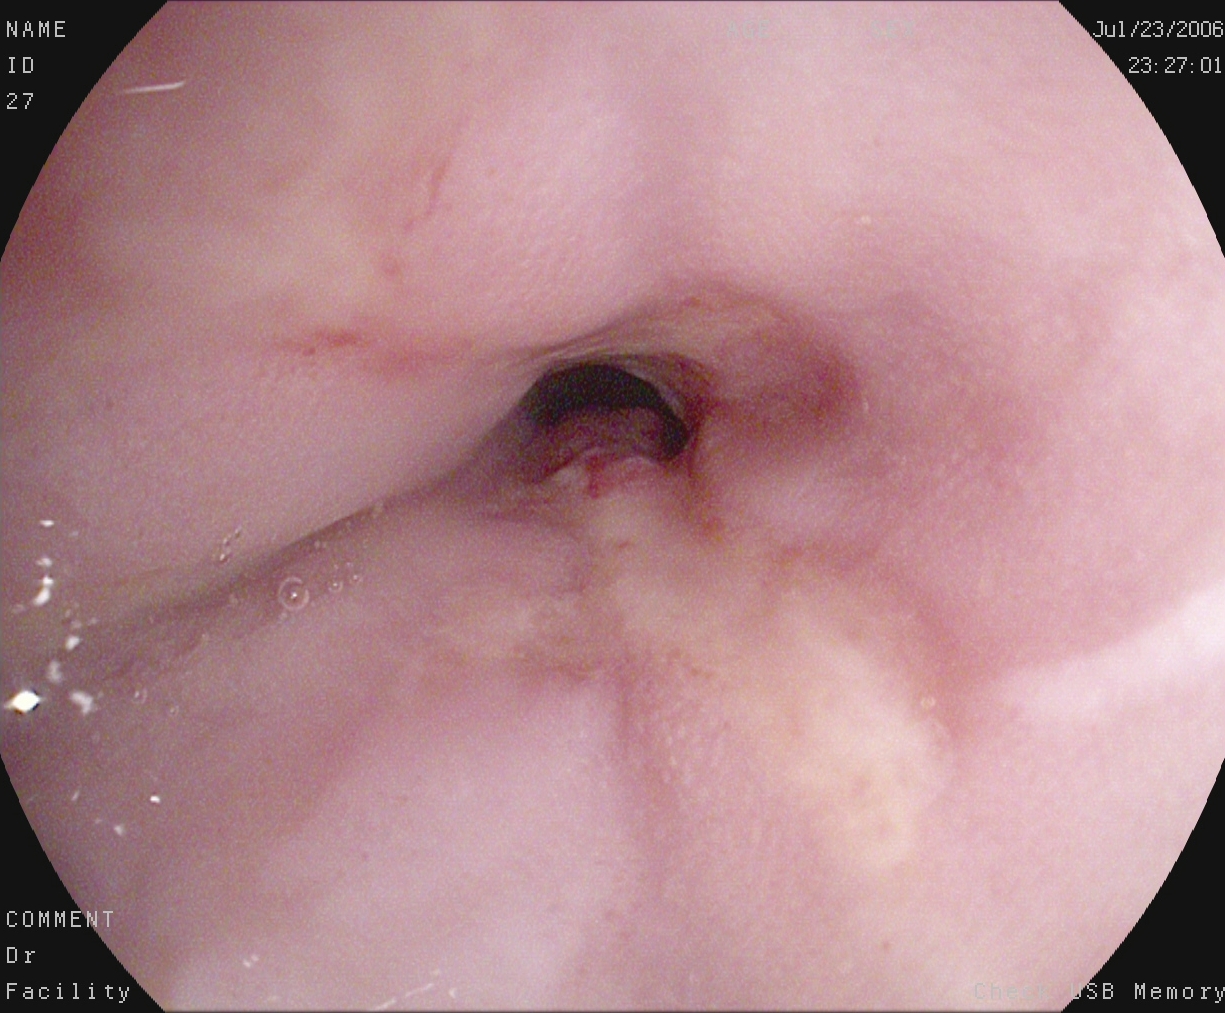This endoscopy frame shows reflux esophagitis, Los Angeles grade B–D.